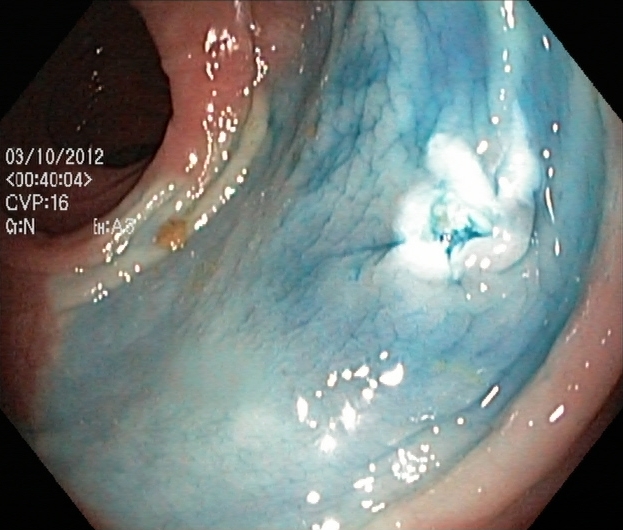Dyed resection margins (post-polypectomy).